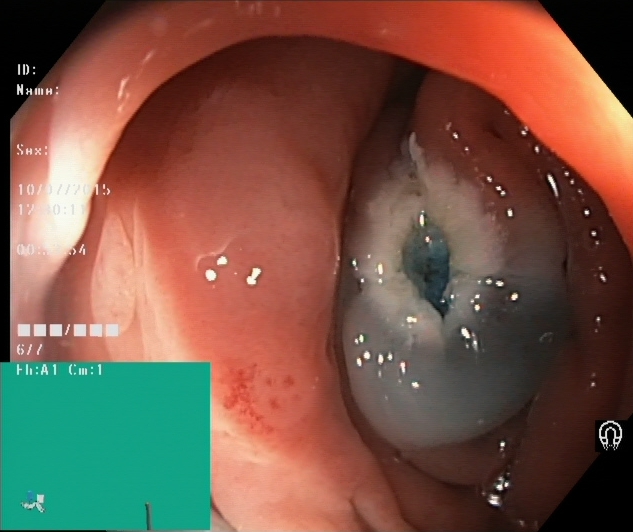Dyed resection margins (post-polypectomy).